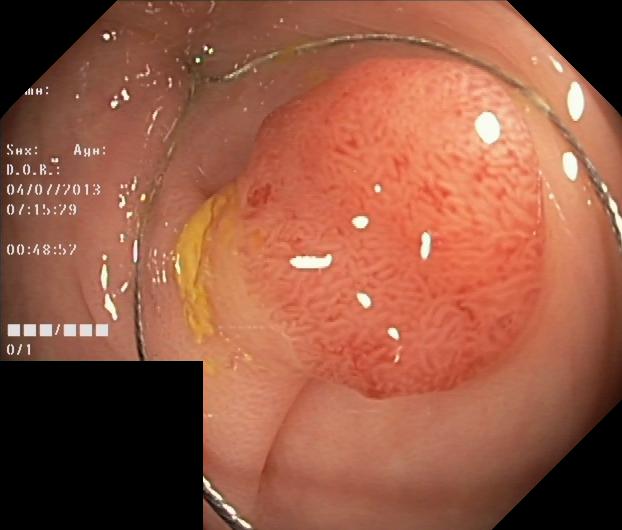{"modality": "colonoscopy", "category": "pathological finding", "finding": "colorectal polyp(s)"}